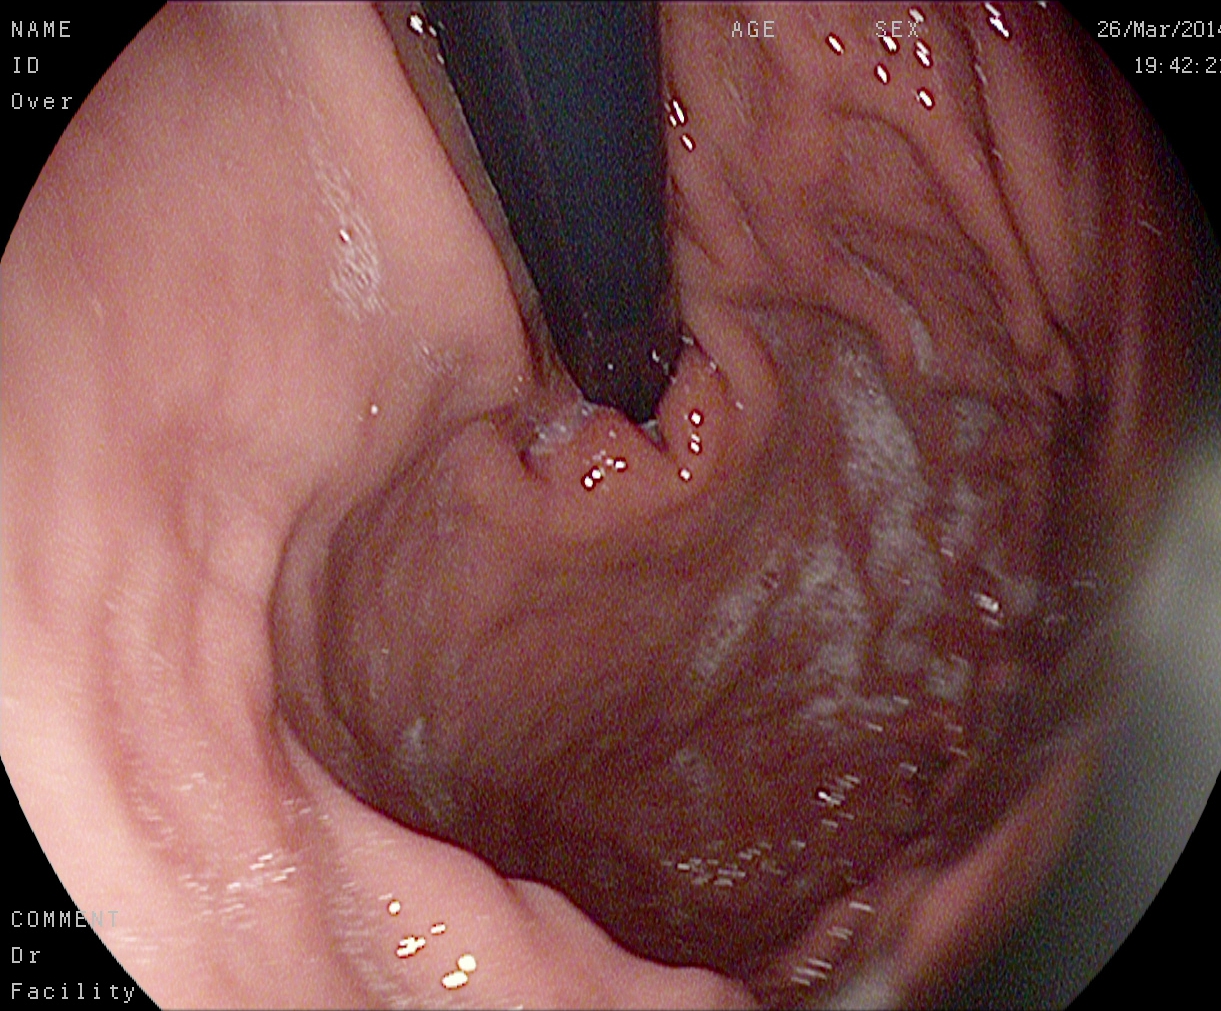PROCEDURE: Esophagogastroduodenoscopy.
FINDINGS: Stomach in retroflexion.